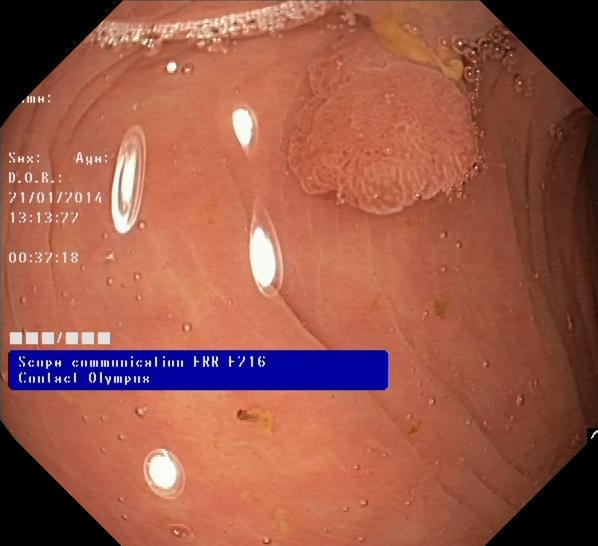Endoscopy image showing colorectal polyp(s).